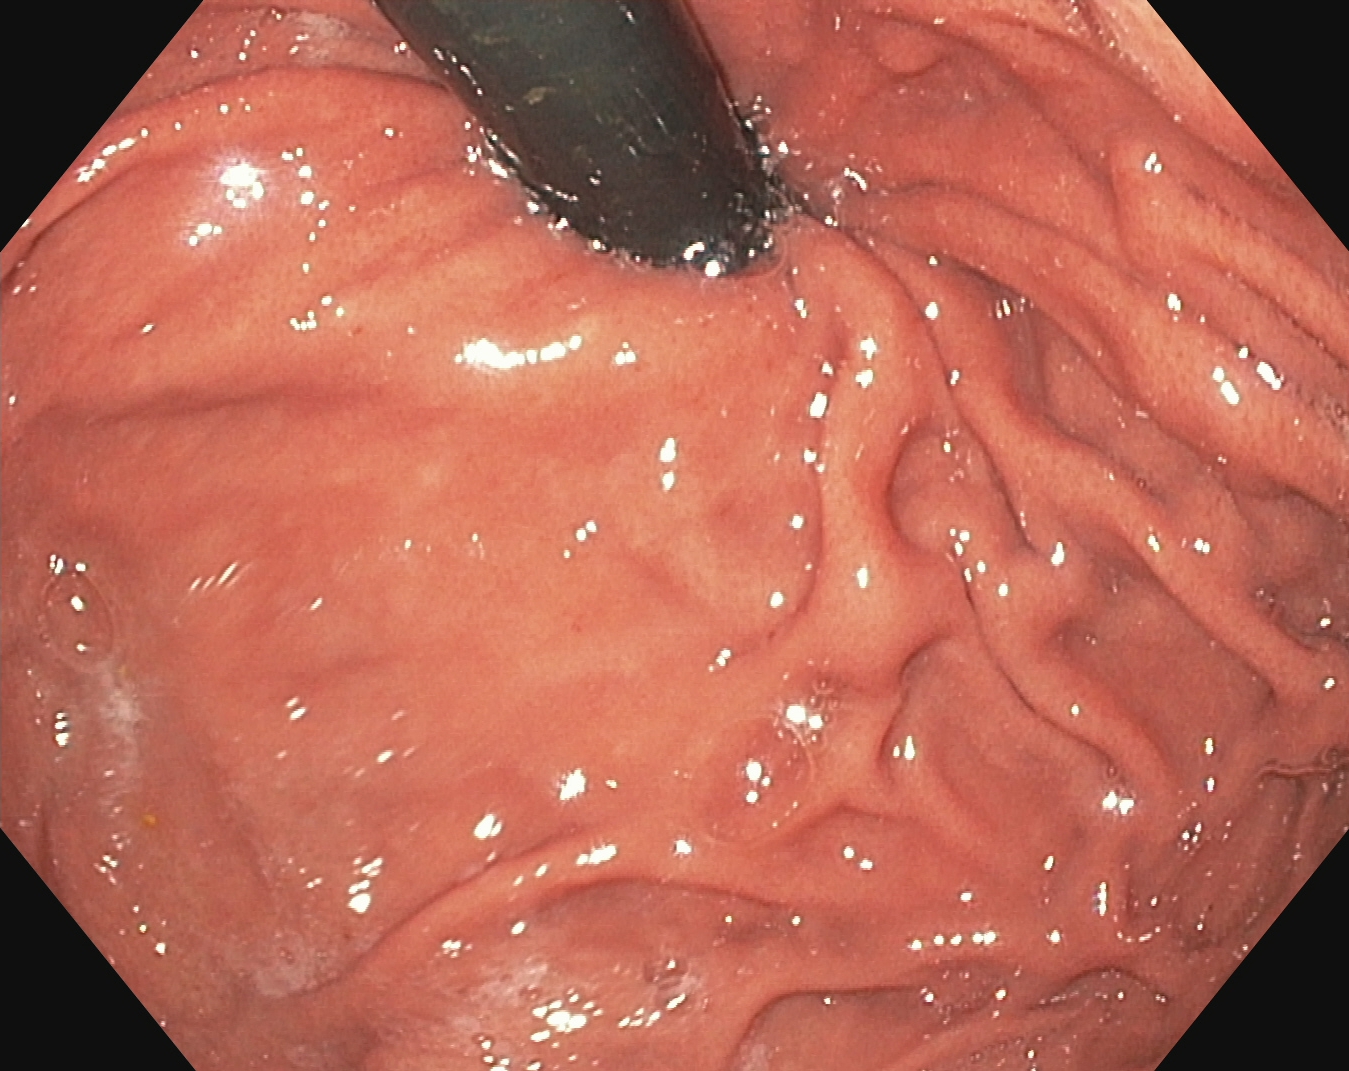Stomach in retroflexion.